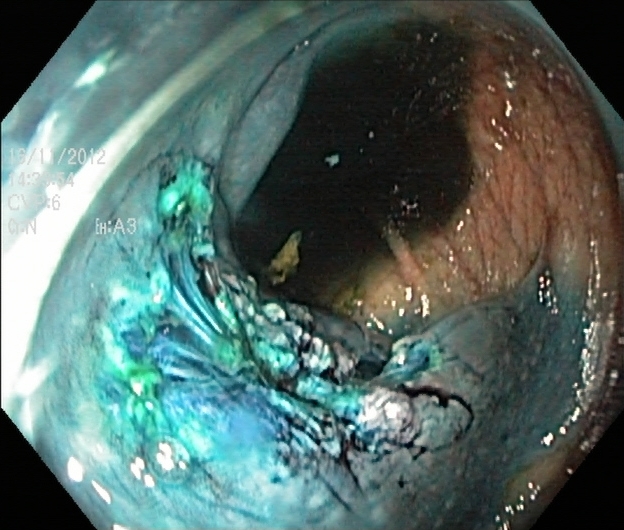PROCEDURE: Colonoscopy.
CATEGORY: Therapeutic intervention.
FINDINGS: Dyed resection margins (post-polypectomy).